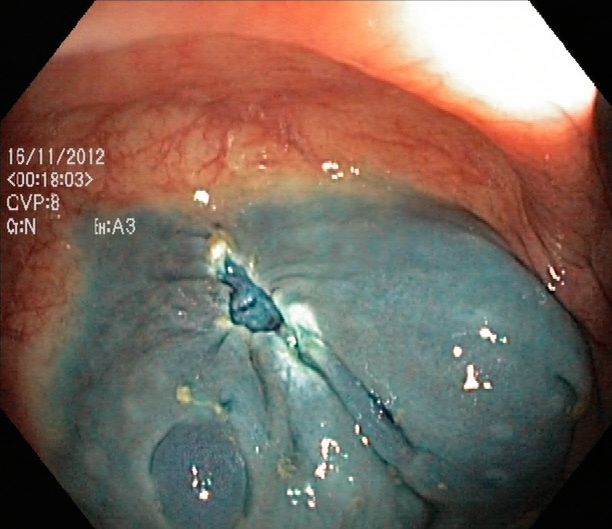{"modality": "lower-GI endoscopy", "tract": "lower GI tract", "finding": "dyed resection margins (post-polypectomy)"}